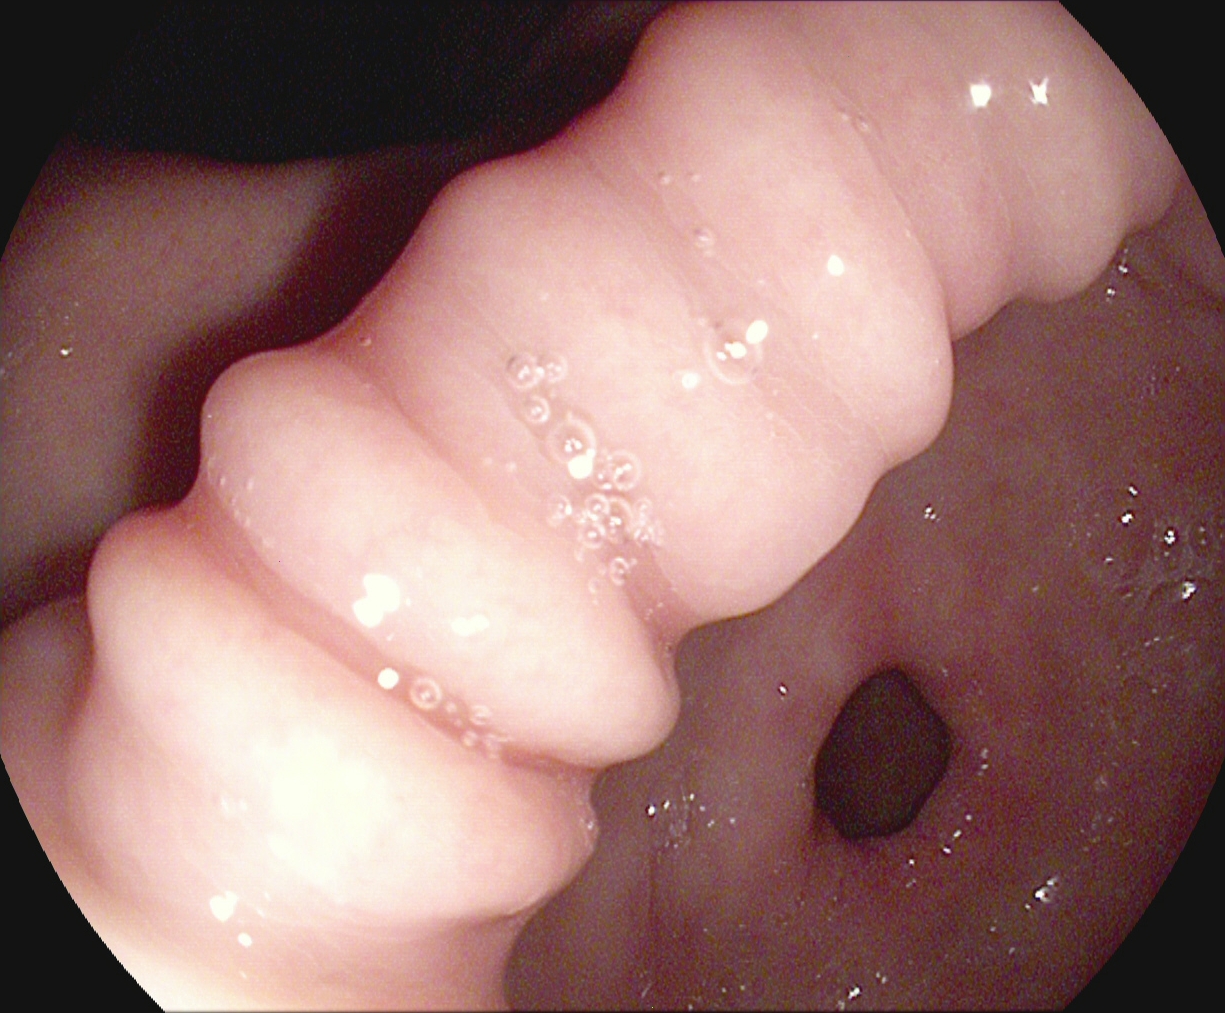modality: gastroscopy | category: anatomical landmark | finding: pylorus